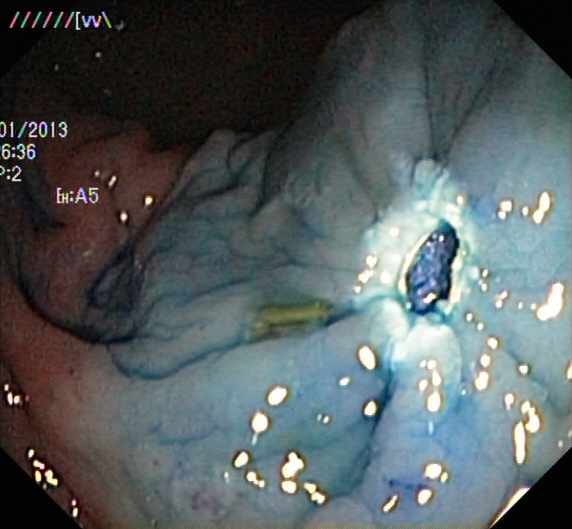{"modality": "lower-GI endoscopy", "finding": "dyed resection margins (post-polypectomy)"}